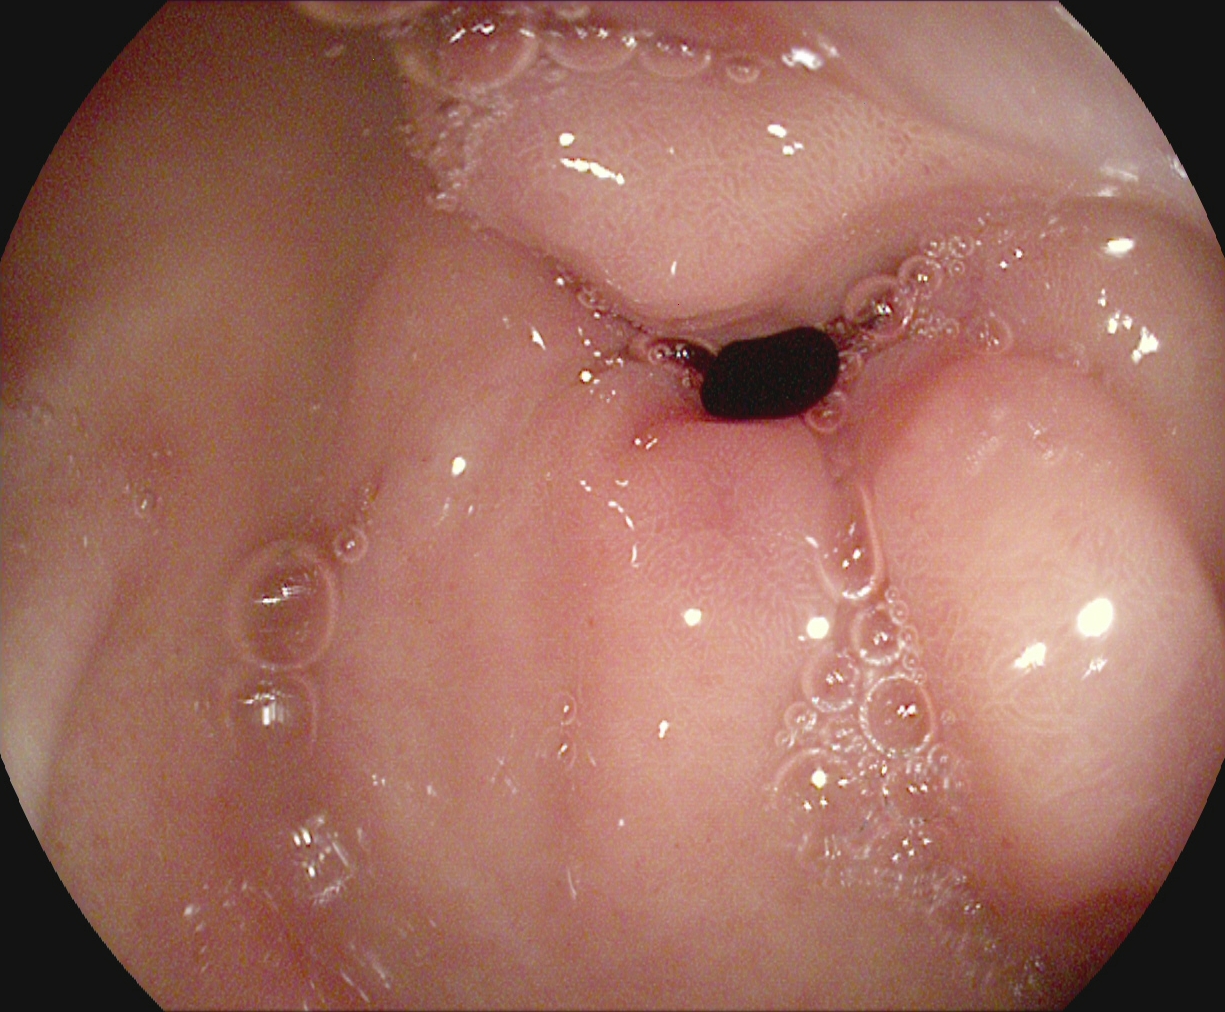{"modality": "EGD", "category": "anatomical landmark", "finding": "pylorus"}